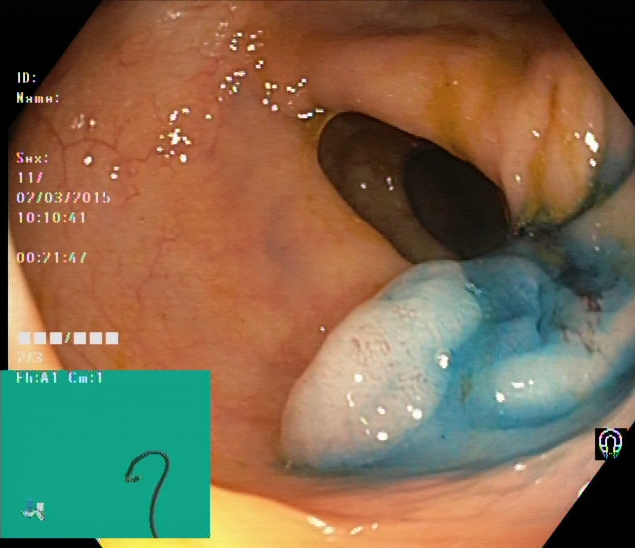This endoscopic image of the lower GI tract shows dyed and lifted polyp (pre-resection).